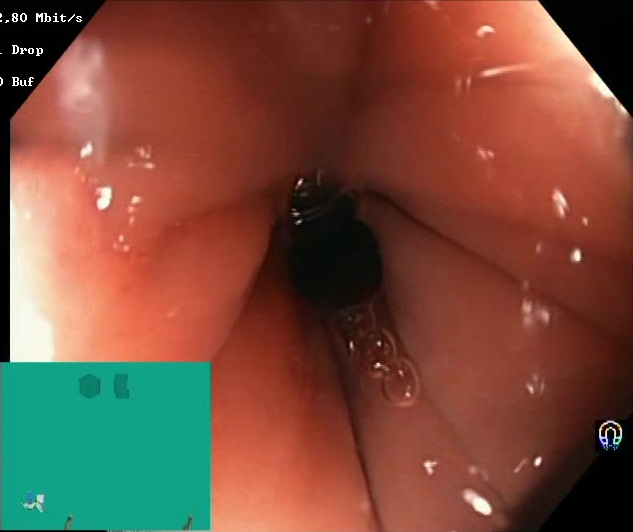Boston Bowel Preparation Scale score 2–3 (adequate preparation).